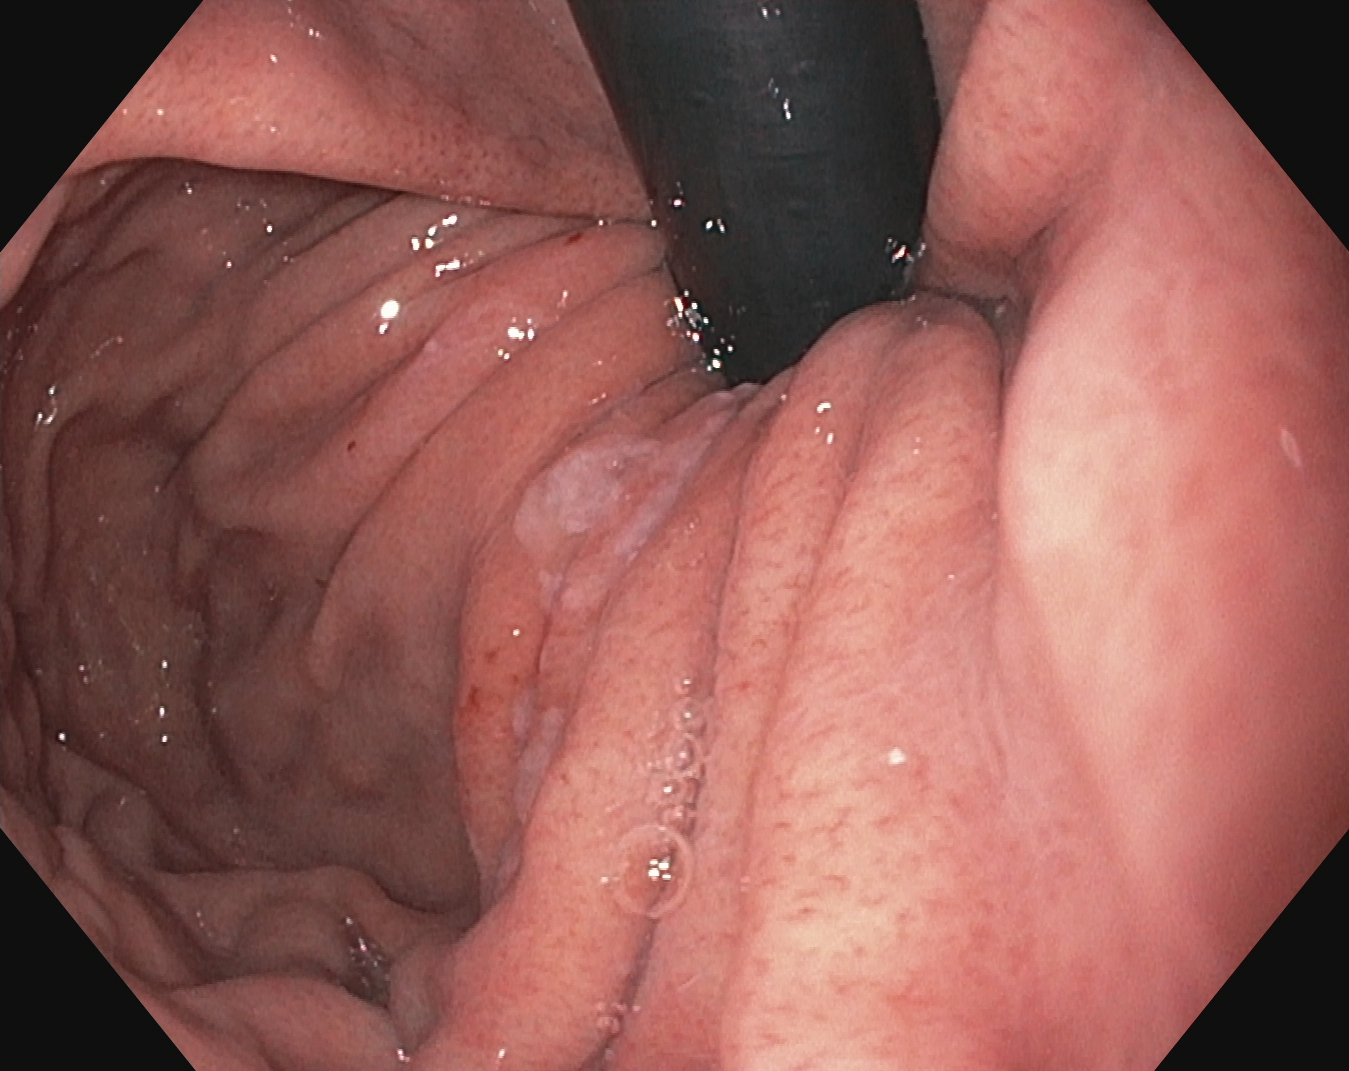This endoscopy frame of the upper GI tract shows stomach in retroflexion.